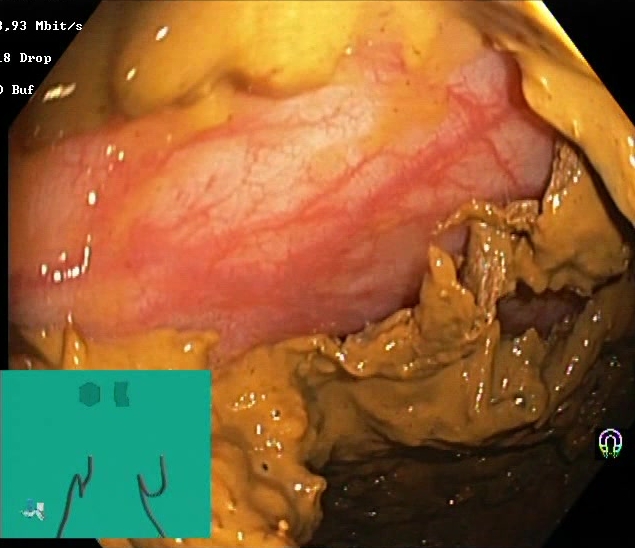Lower-GI endoscopy image showing BBPS score 0–1 (inadequate preparation).